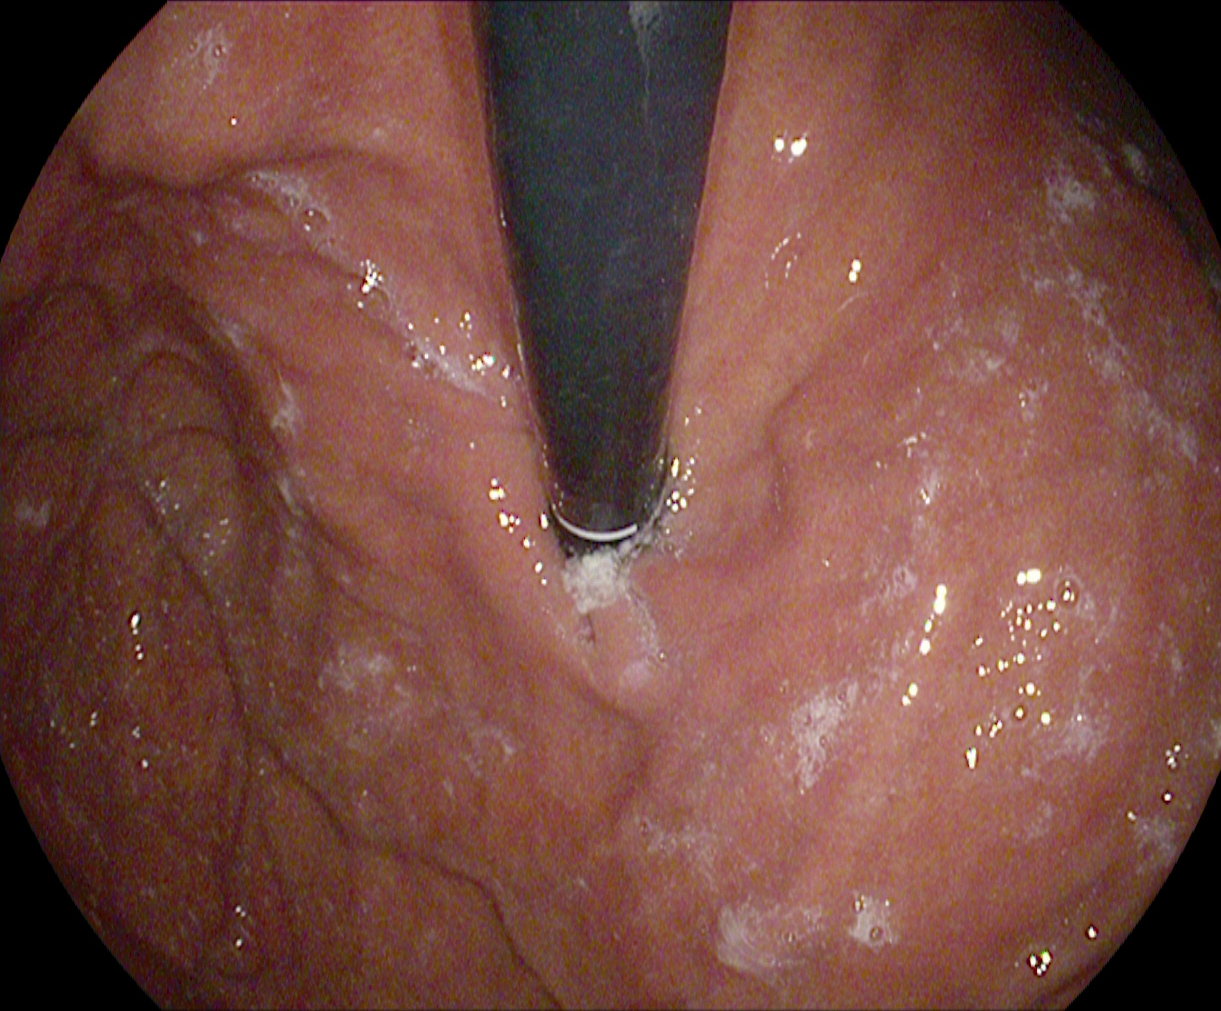{"modality": "upper-GI endoscopy", "finding": "stomach in retroflexion"}